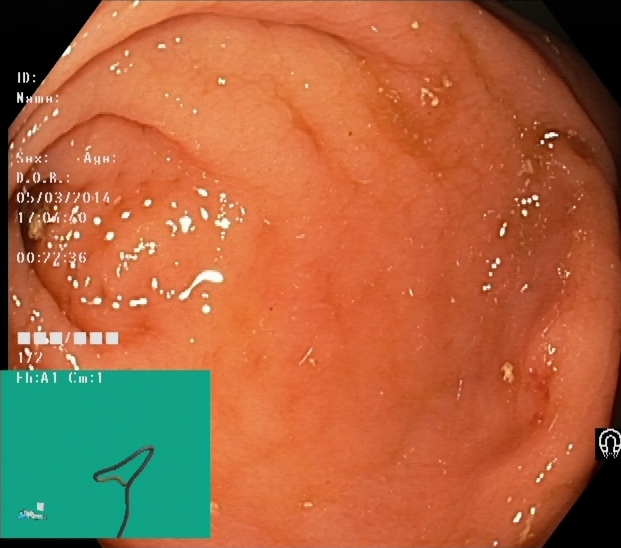{"modality": "colonoscopy", "category": "anatomical landmark", "finding": "cecum"}